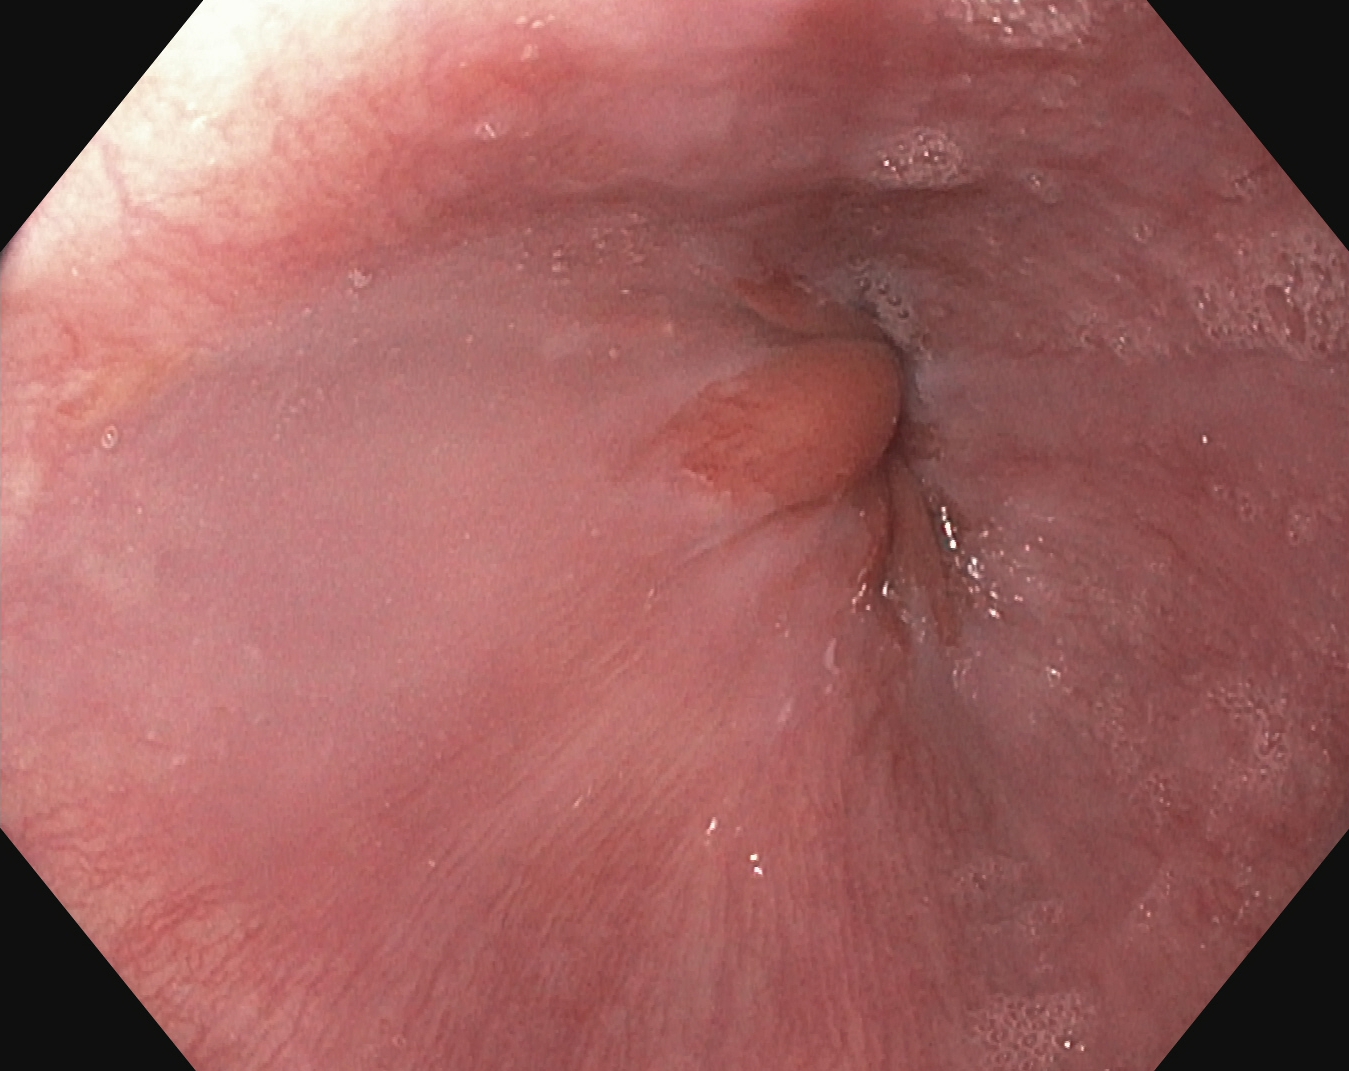PROCEDURE: Gastroscopy.
FINDINGS: Z-line (gastroesophageal junction).